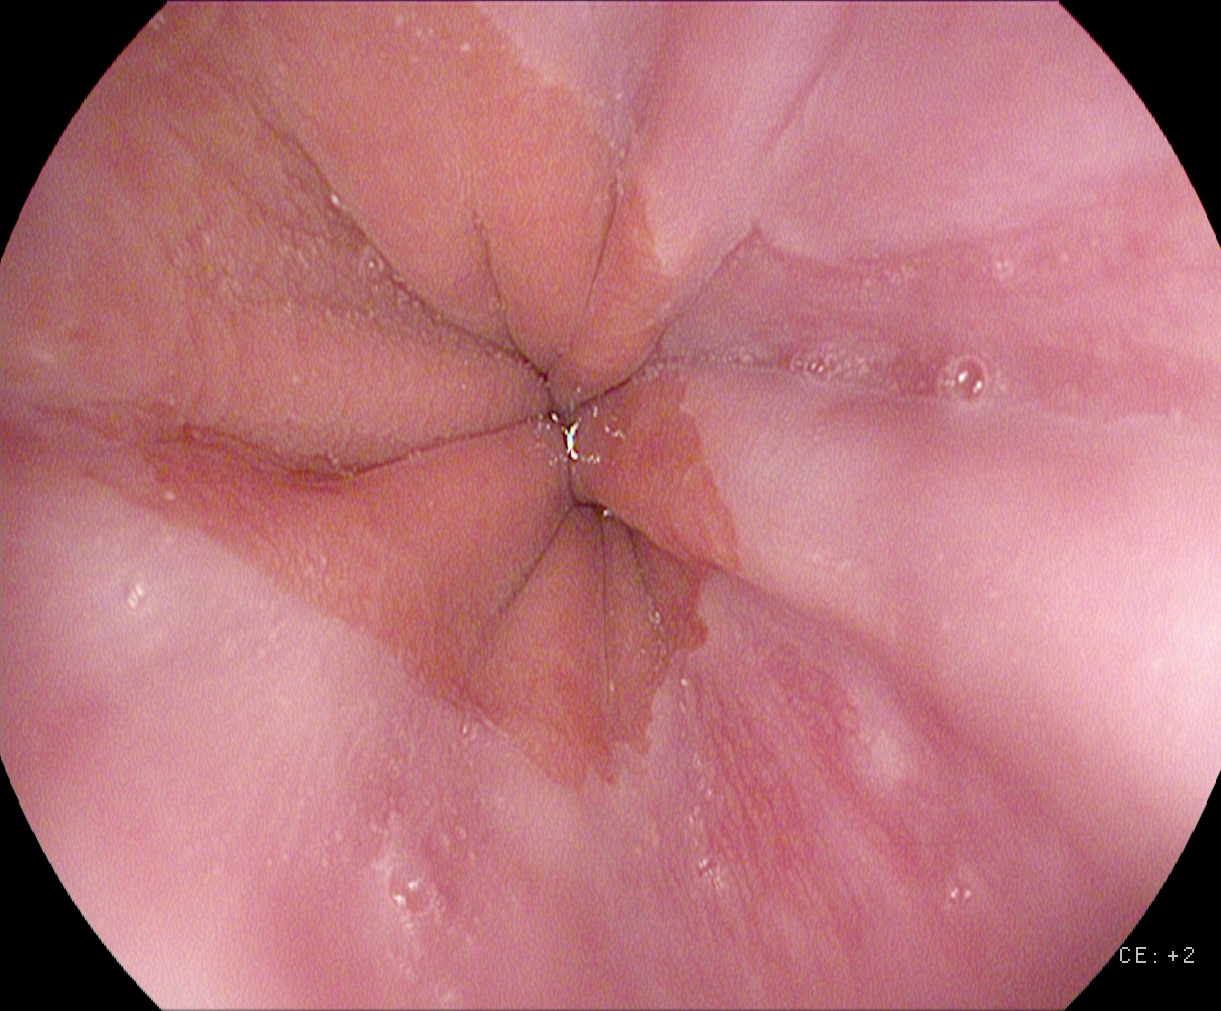PROCEDURE: Gastroscopy.
FINDINGS: Z-line (gastroesophageal junction).